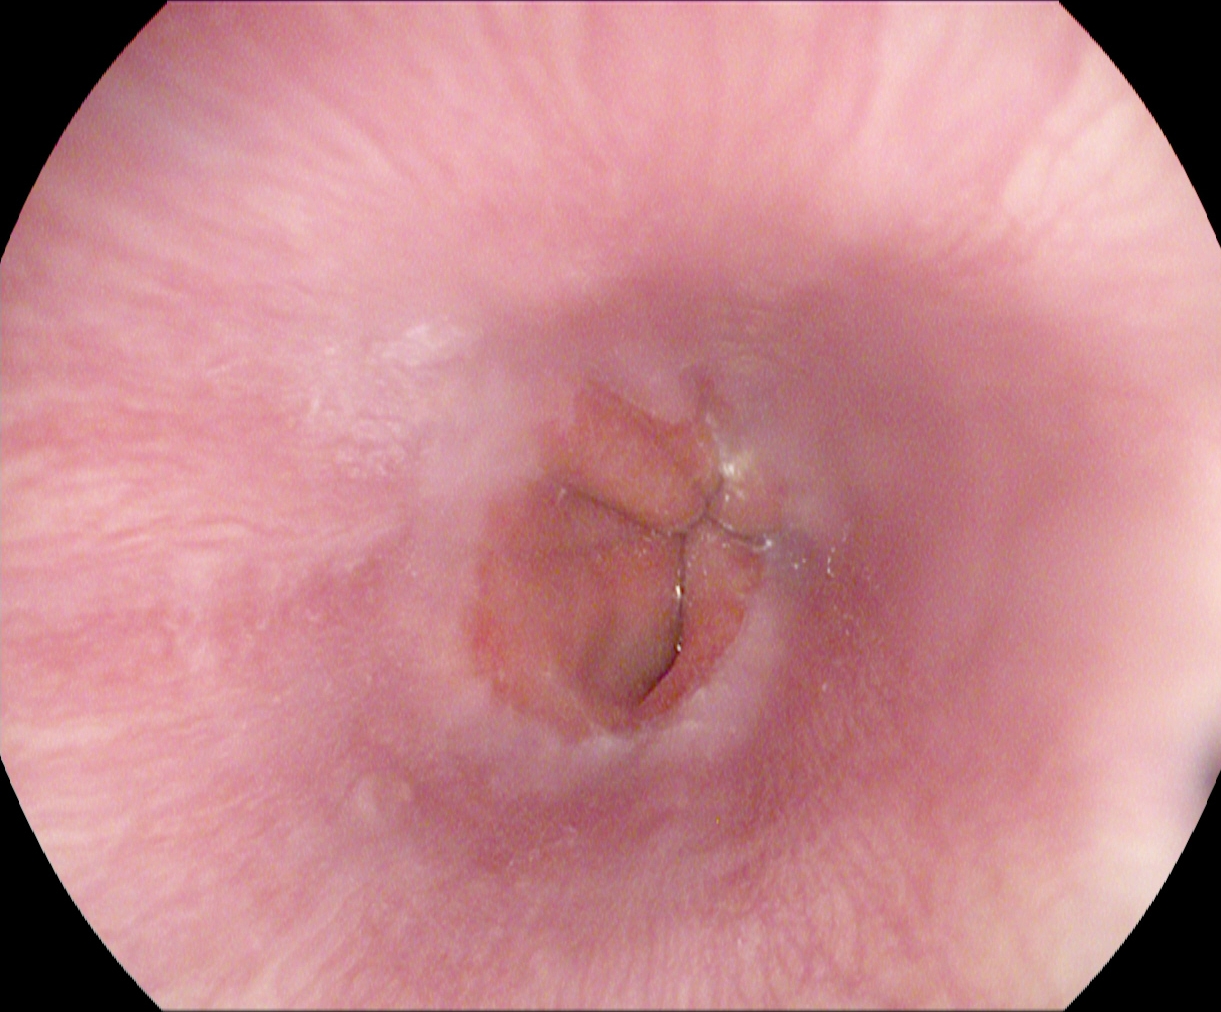EGD. Tract: upper GI tract. Anatomical landmark. Finding: Z-line (gastroesophageal junction).